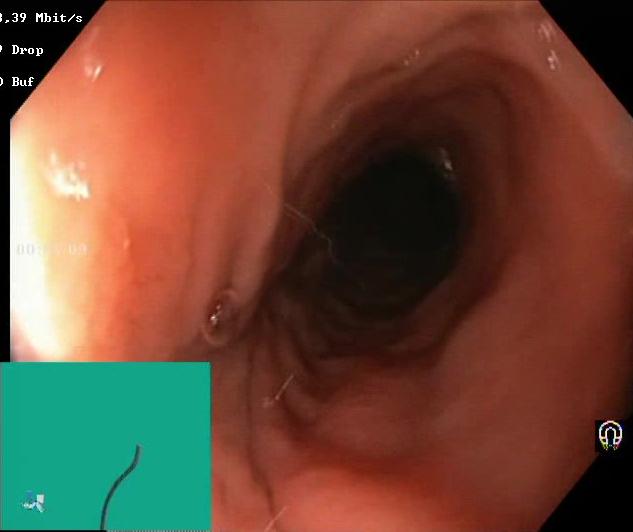Colonoscopy. Finding: Boston Bowel Preparation Scale score 2–3 (adequate preparation).